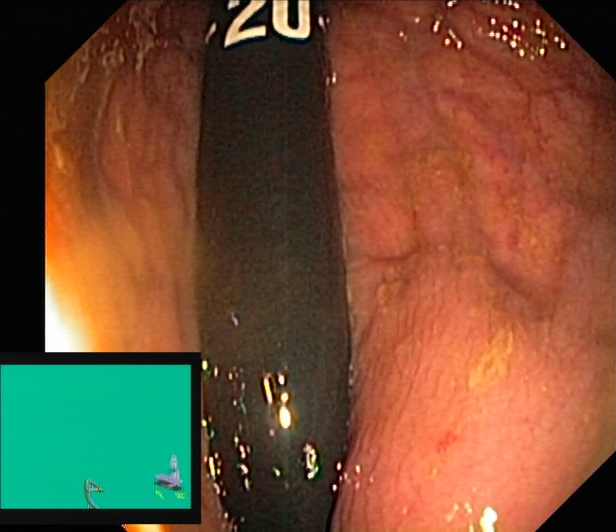PROCEDURE: Colonoscopy.
CATEGORY: Anatomical landmark.
FINDINGS: Rectum in retroflexion.